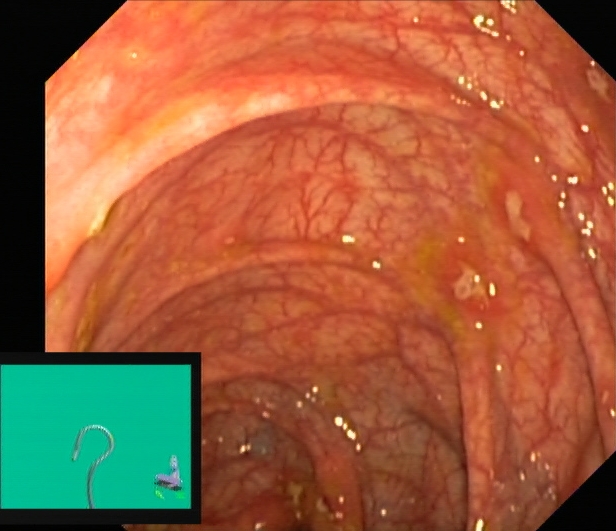{"modality": "colonoscopy", "tract": "lower GI tract", "finding": "UC, Mayo endoscopic subscore 1"}